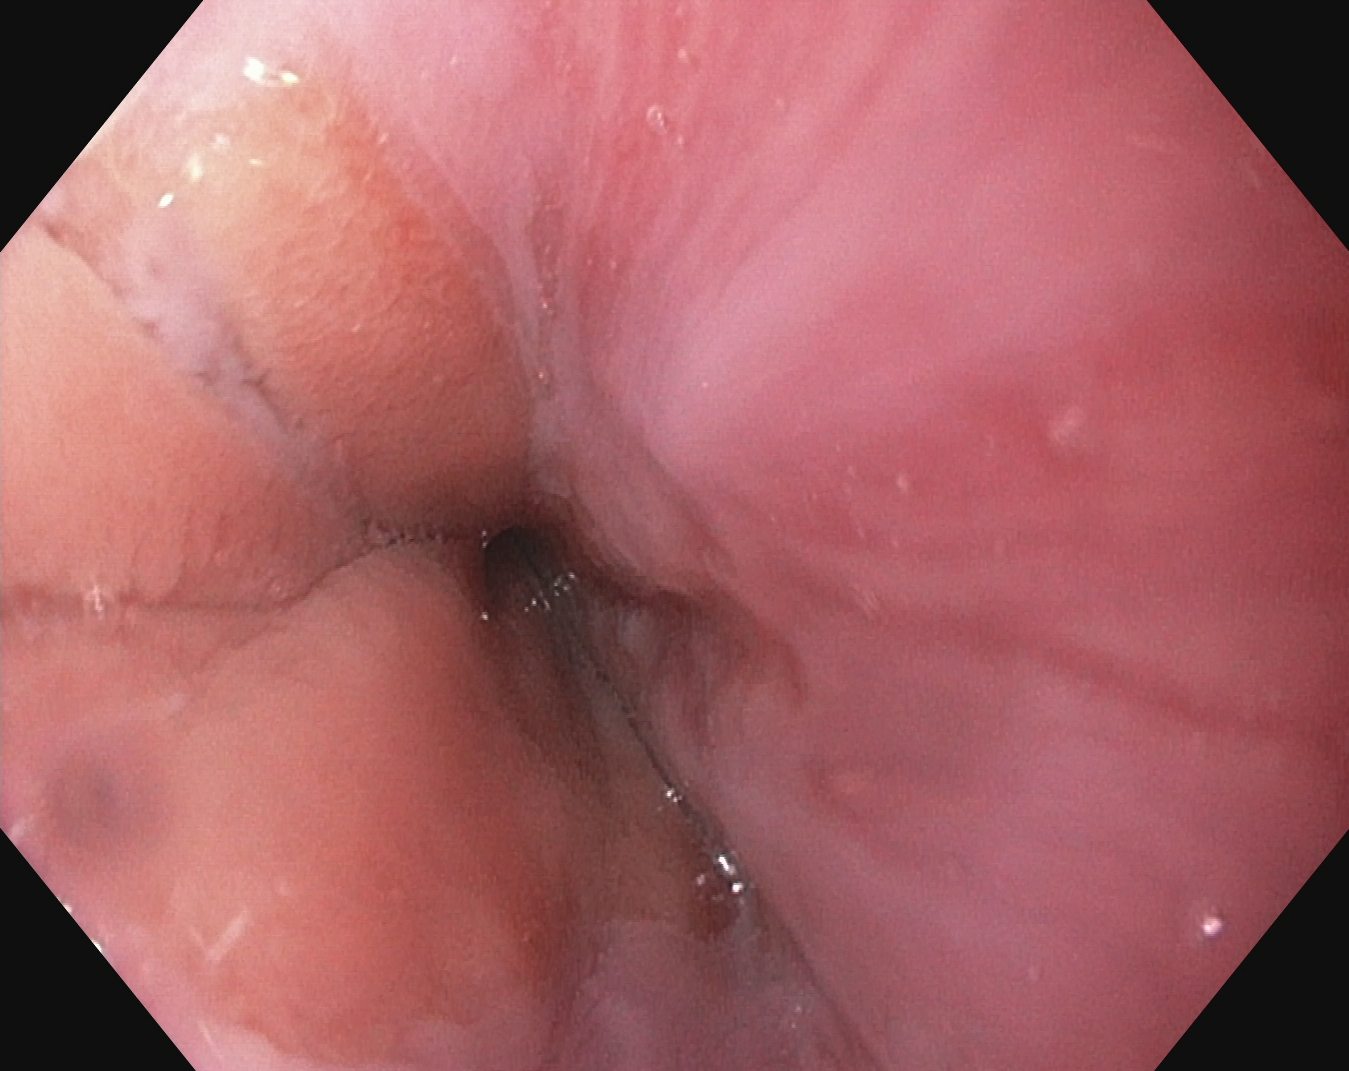PROCEDURE: Esophagogastroduodenoscopy.
CATEGORY: Anatomical landmark.
FINDINGS: Z-line (gastroesophageal junction).